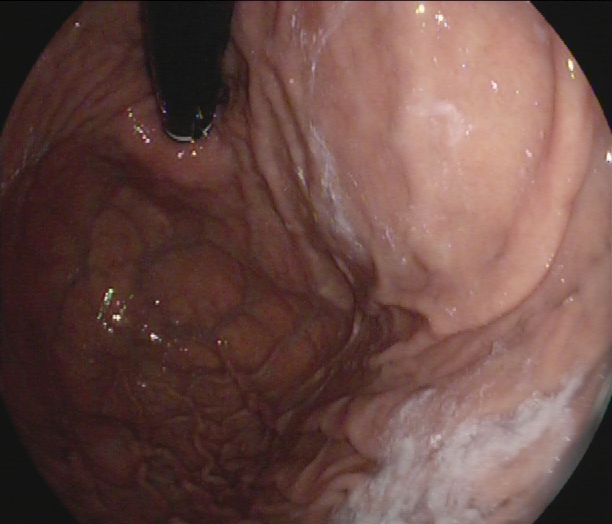{"modality": "esophagogastroduodenoscopy", "category": "anatomical landmark", "finding": "stomach in retroflexion"}